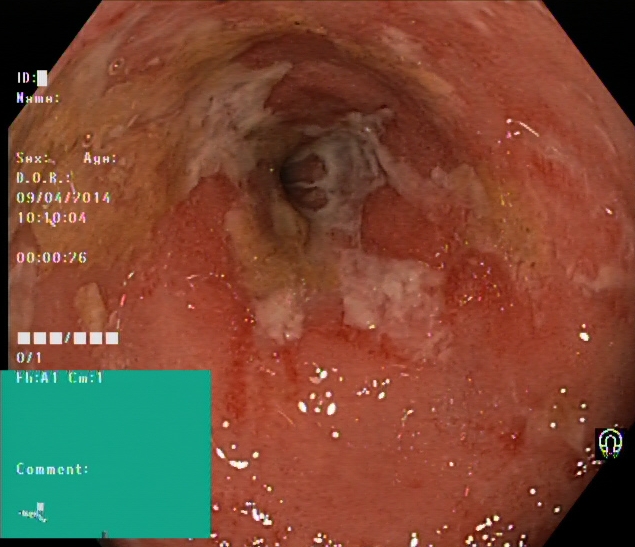Colonoscopy — UC, Mayo endoscopic subscore 2–3.